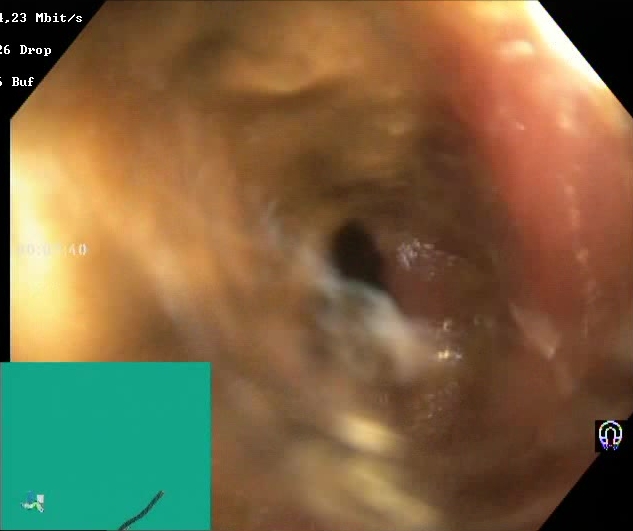Lower-GI endoscopy — BBPS score 0–1 (inadequate preparation).